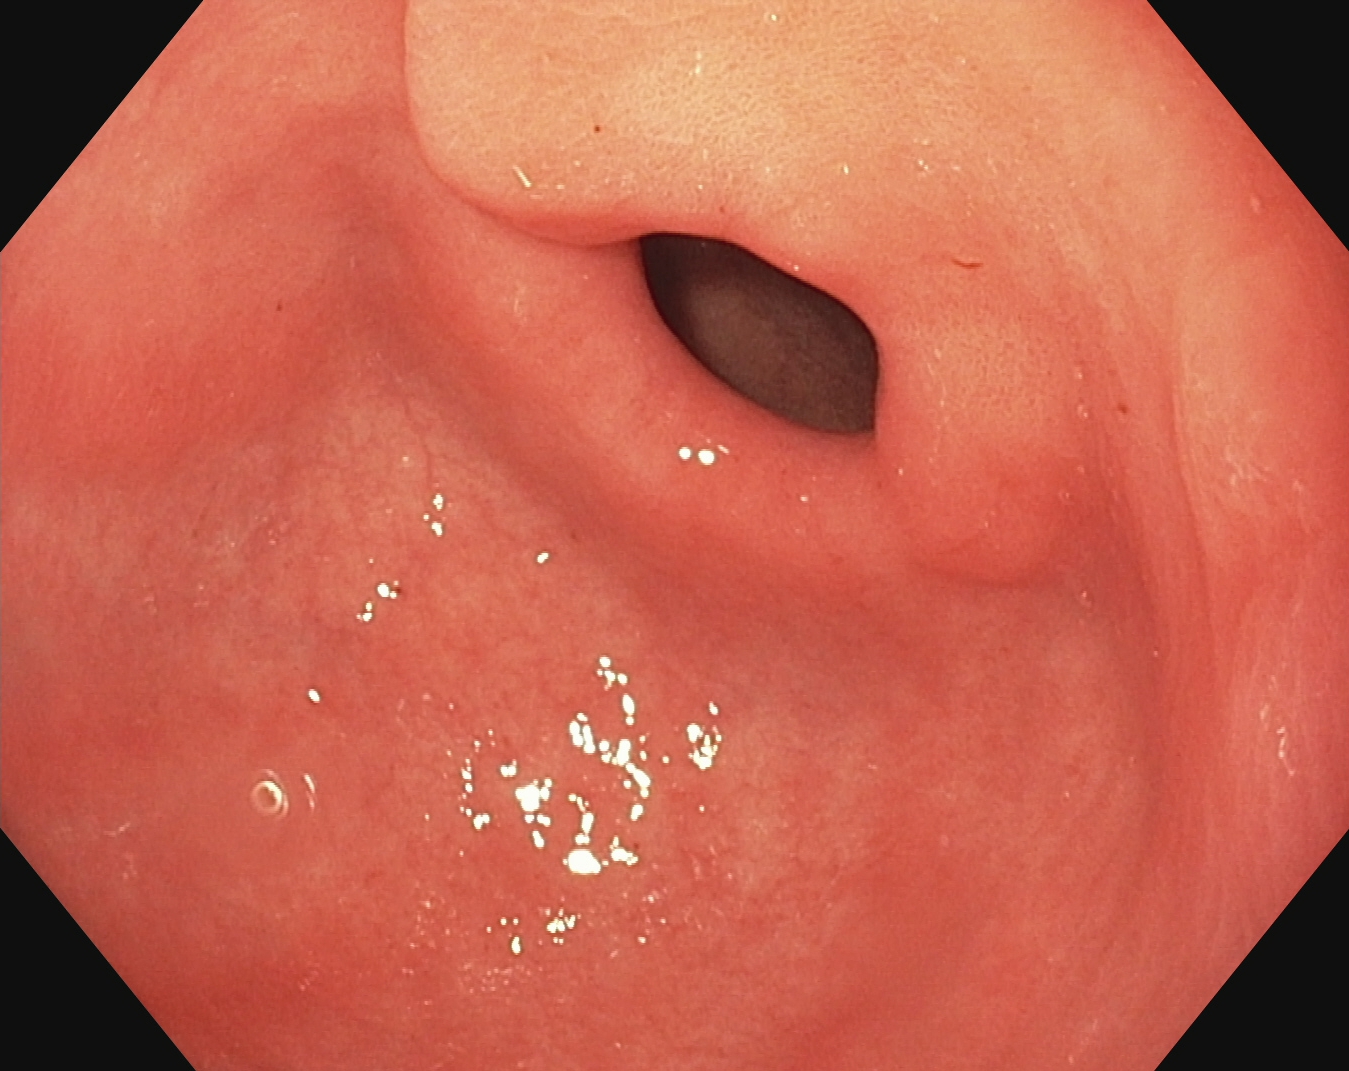{"modality": "EGD", "tract": "upper GI tract", "finding": "pylorus"}